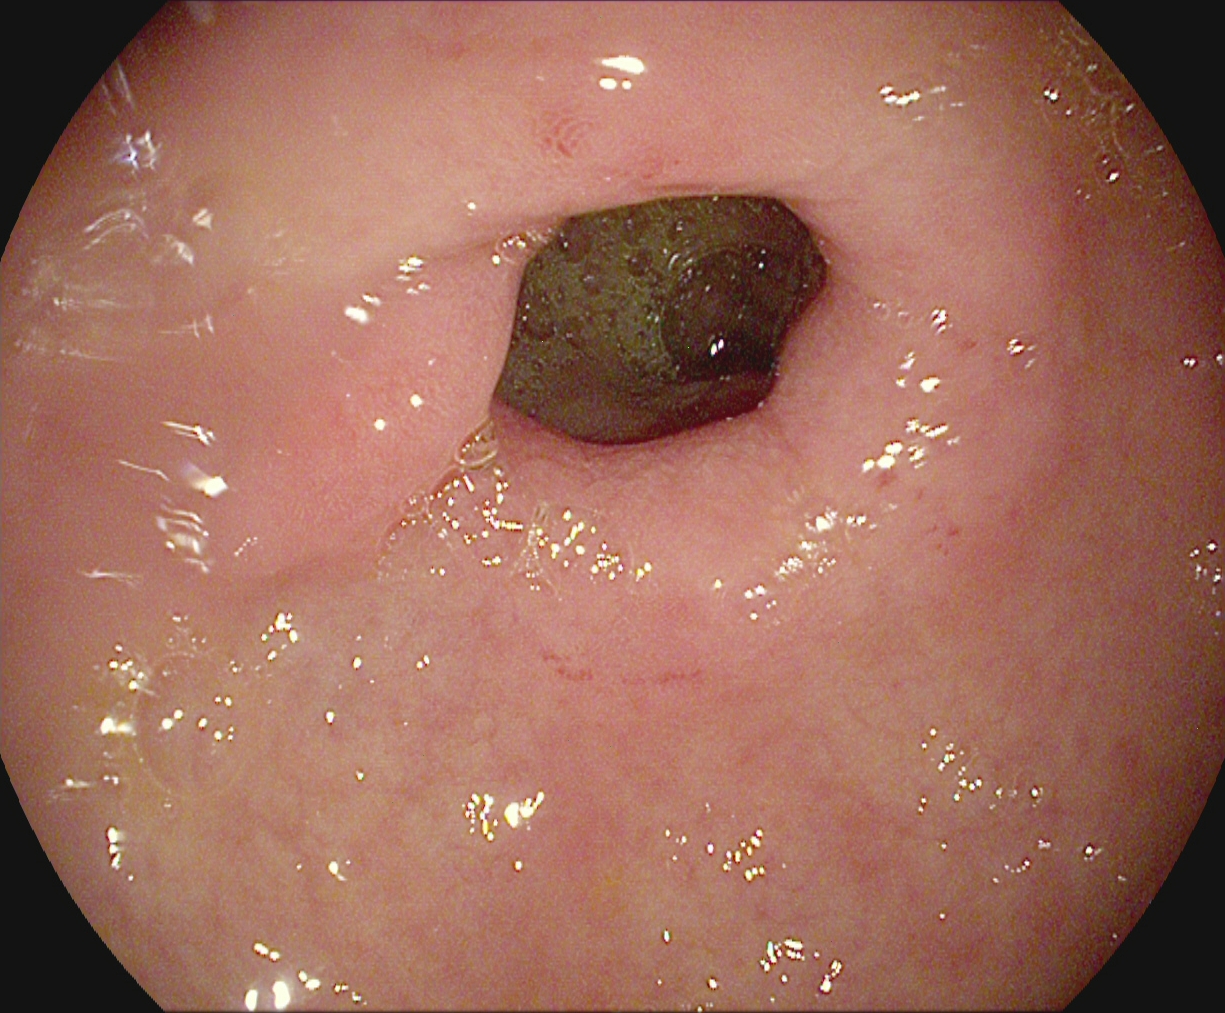modality: upper-GI endoscopy | category: anatomical landmark | finding: pylorus